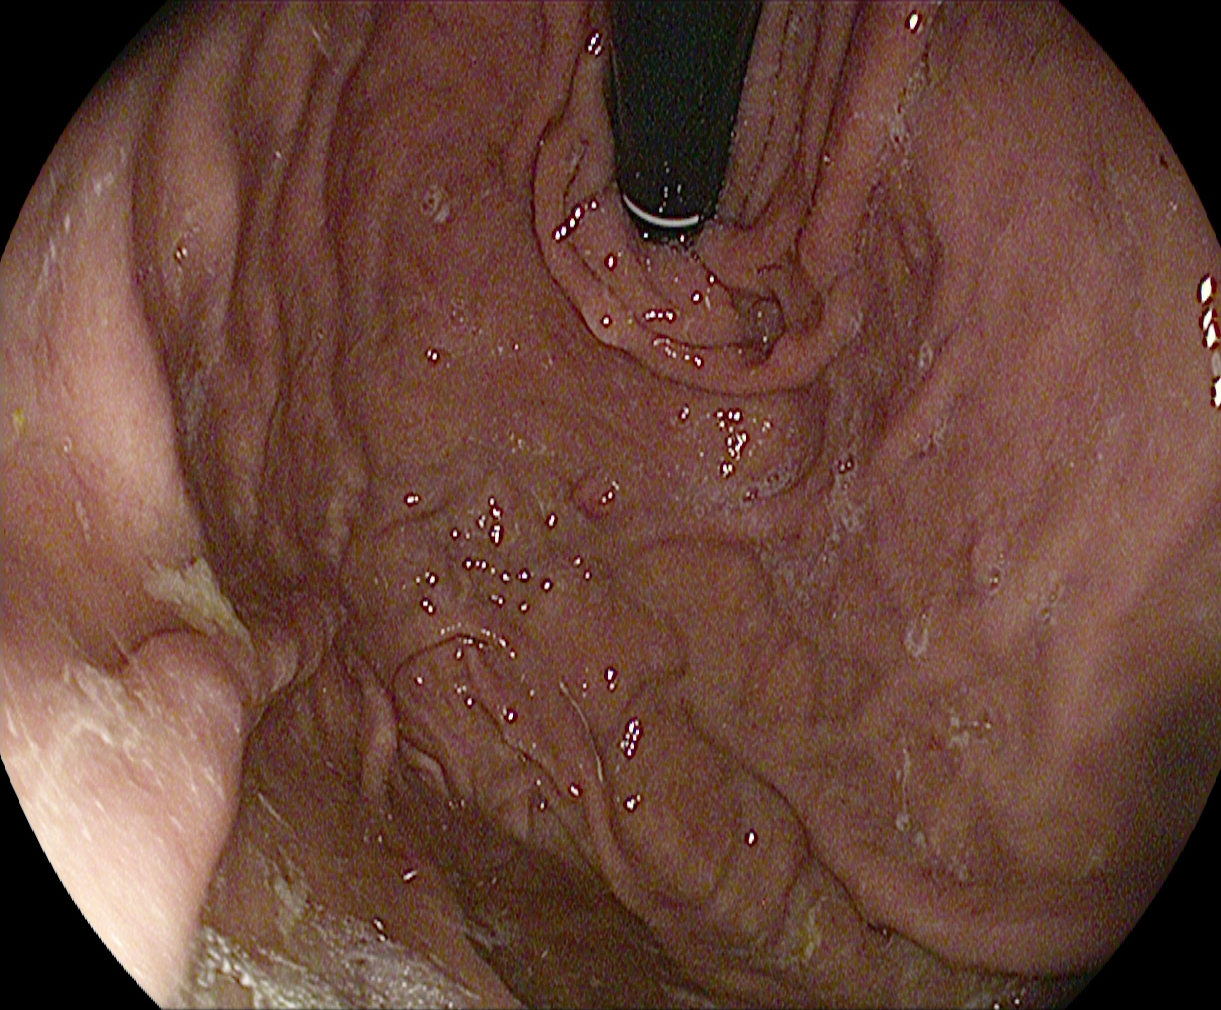{"modality": "gastroscopy", "tract": "upper GI tract", "finding": "stomach in retroflexion"}